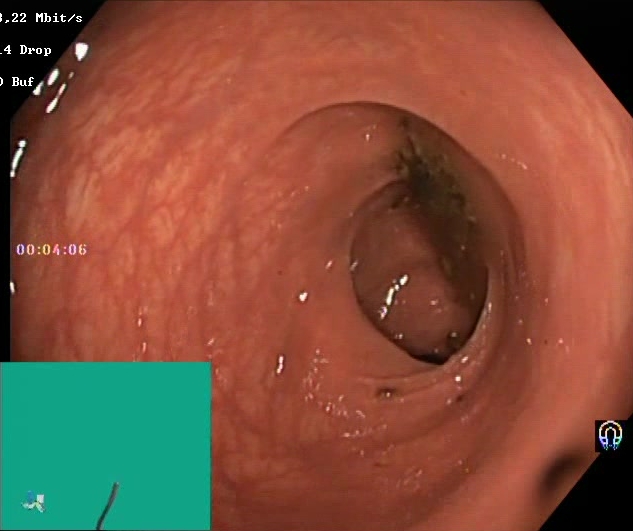modality: lower-GI endoscopy; category: mucosal-view quality; finding: BBPS score 0–1 (inadequate preparation)